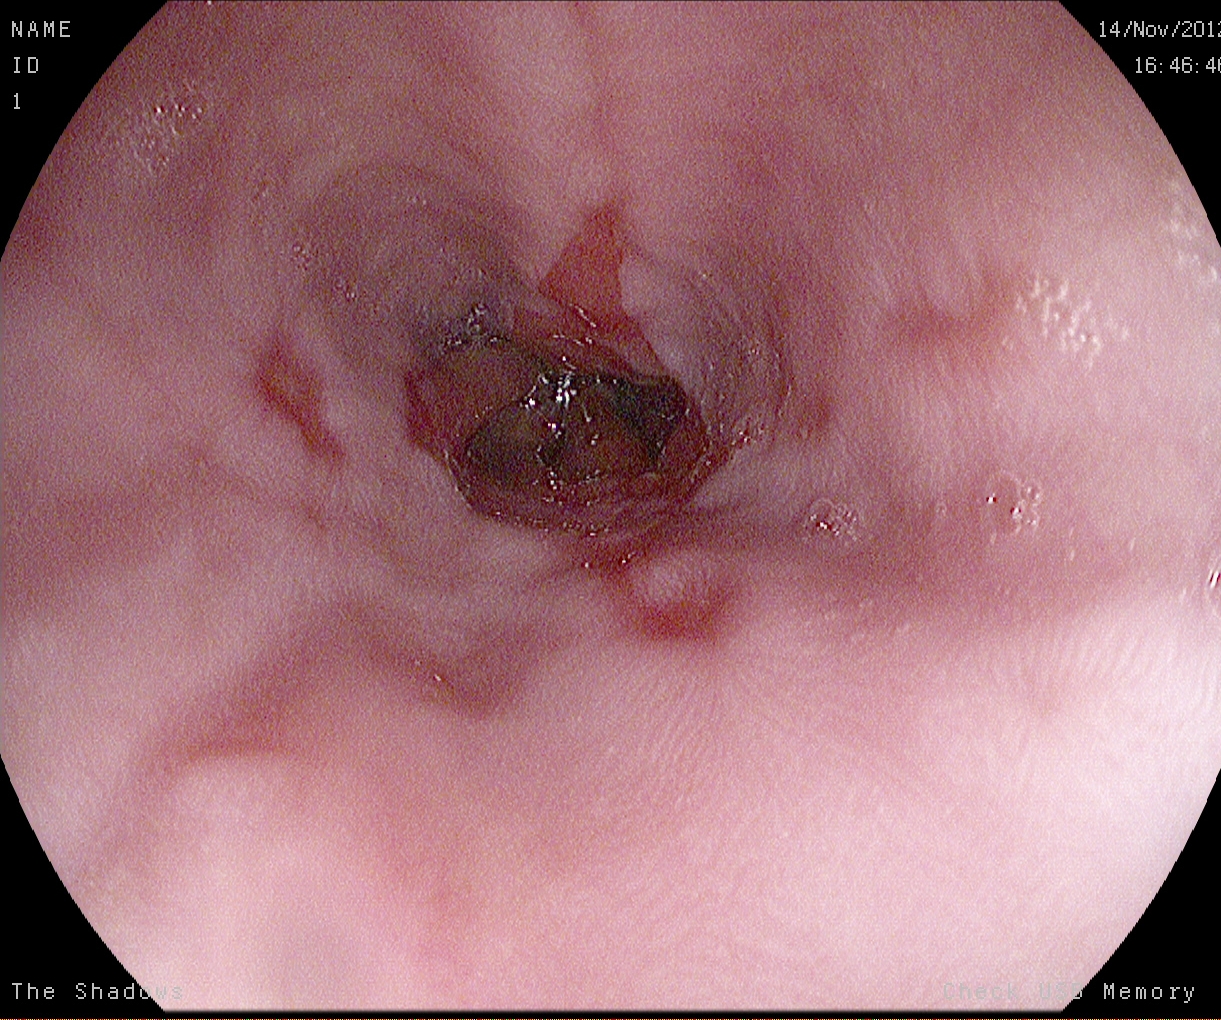EGD — reflux esophagitis, Los Angeles grade B–D.